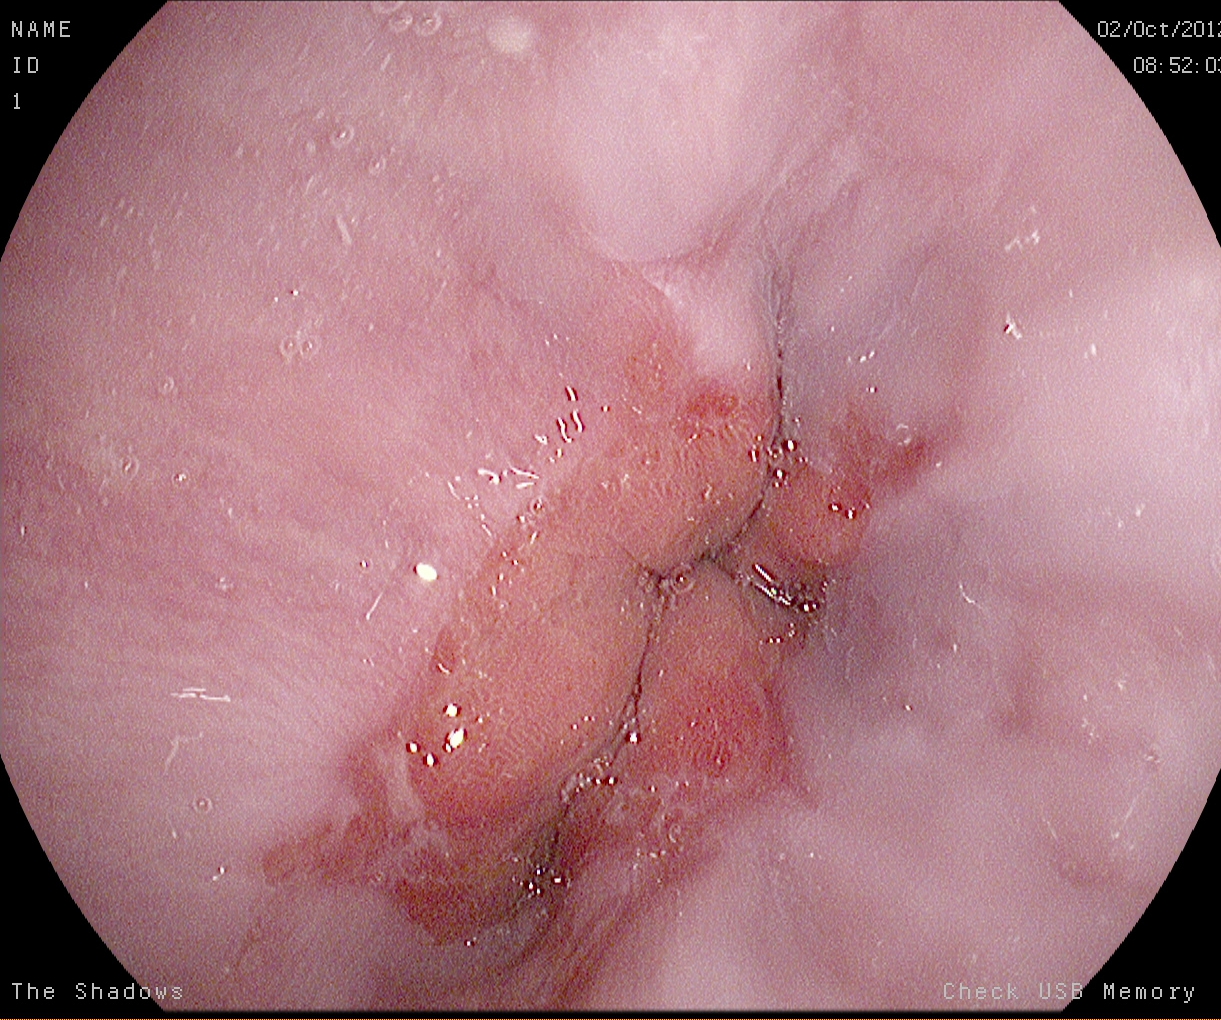This endoscopy frame shows Z-line (gastroesophageal junction).